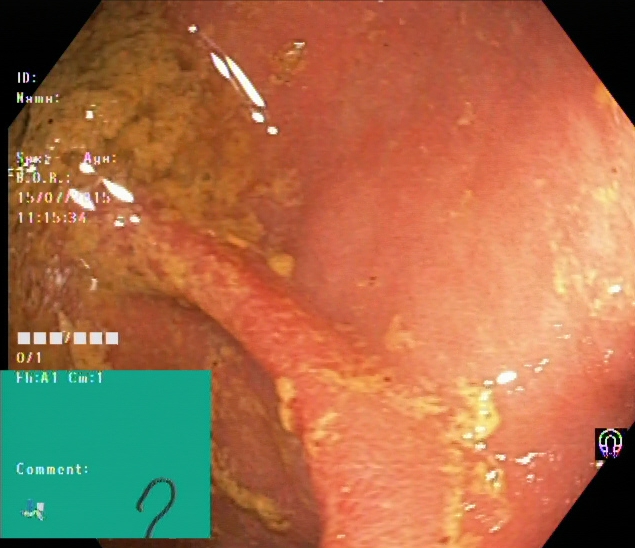Ulcerative colitis, Mayo endoscopic subscore 1.